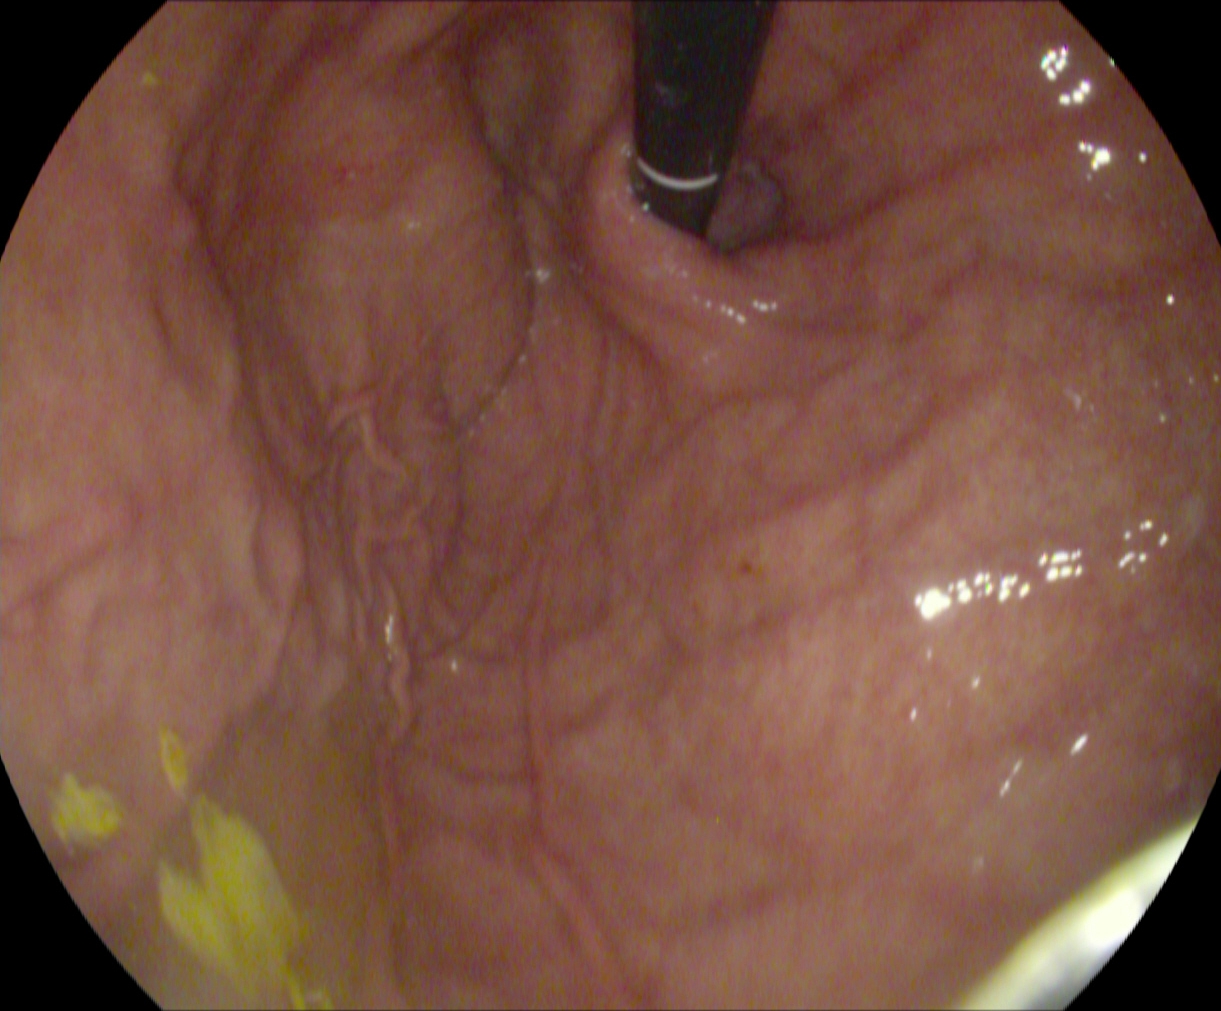{"modality": "gastroscopy", "category": "anatomical landmark", "finding": "stomach in retroflexion"}